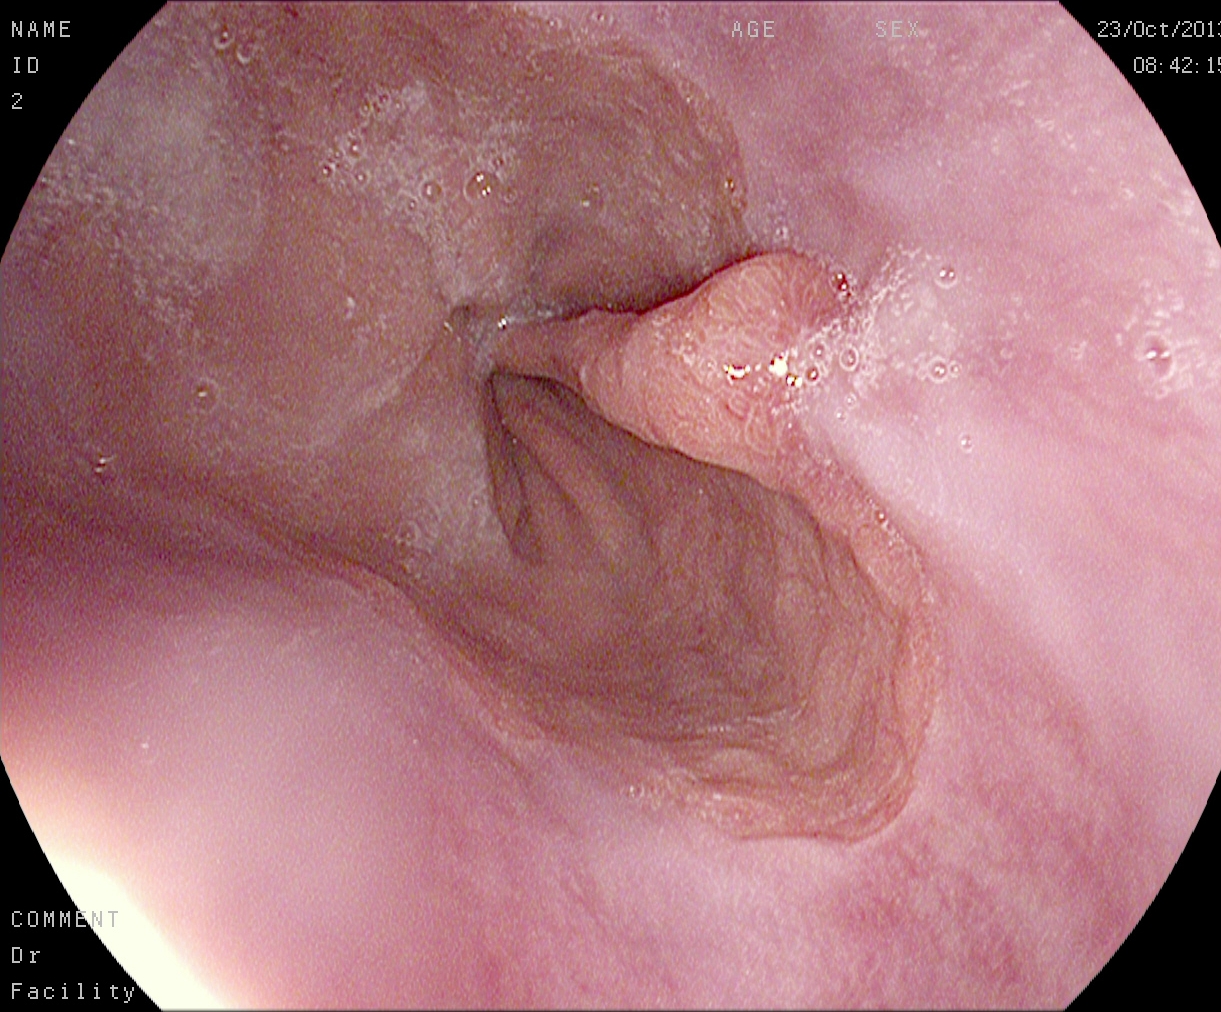Esophagogastroduodenoscopy. Tract: upper GI tract. Pathological finding. Finding: reflux esophagitis, LA grade A.